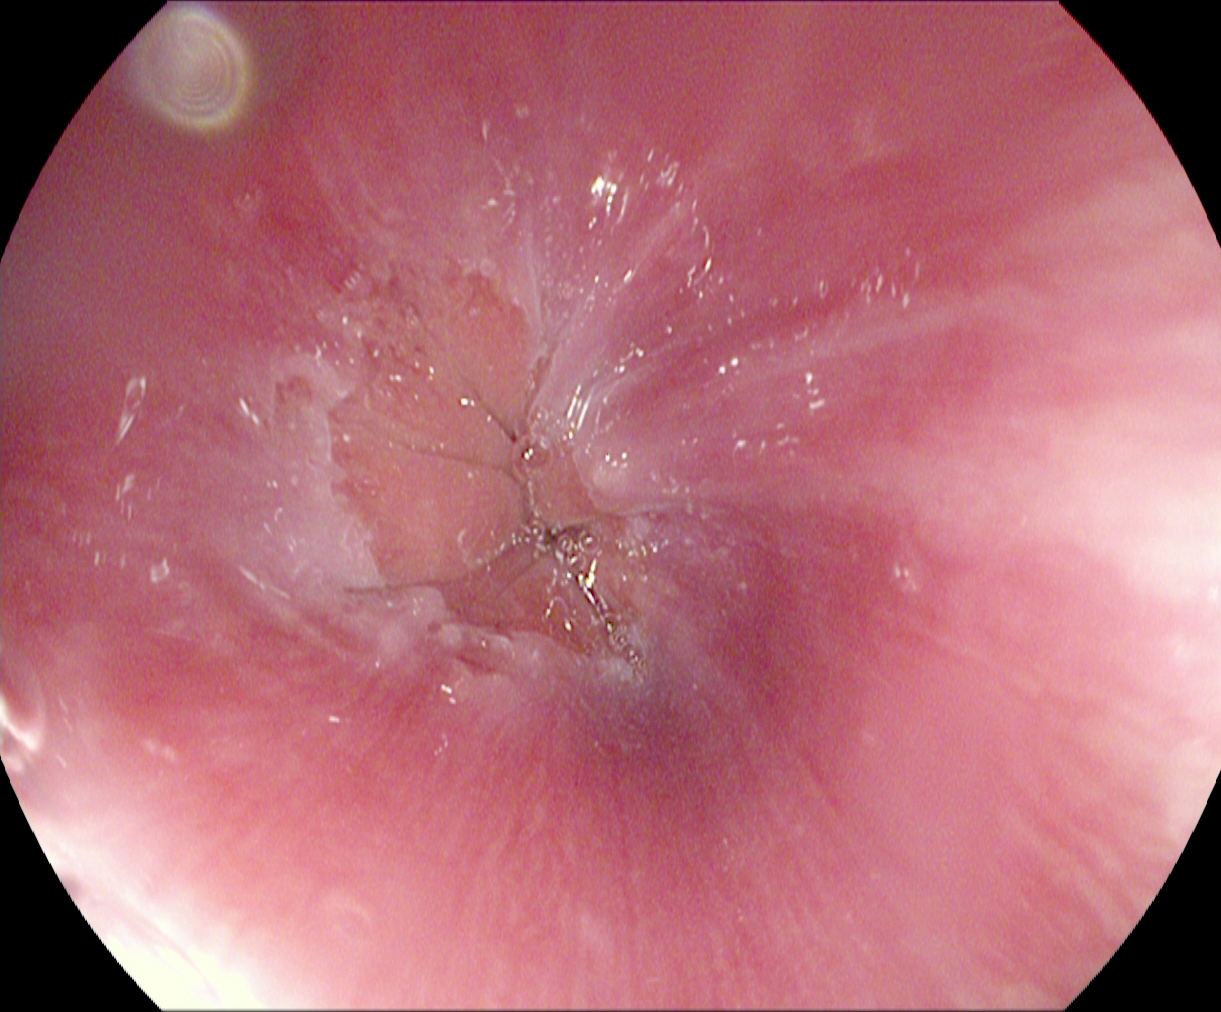Esophagogastroduodenoscopy. Tract: upper GI tract. Finding: Z-line (gastroesophageal junction).